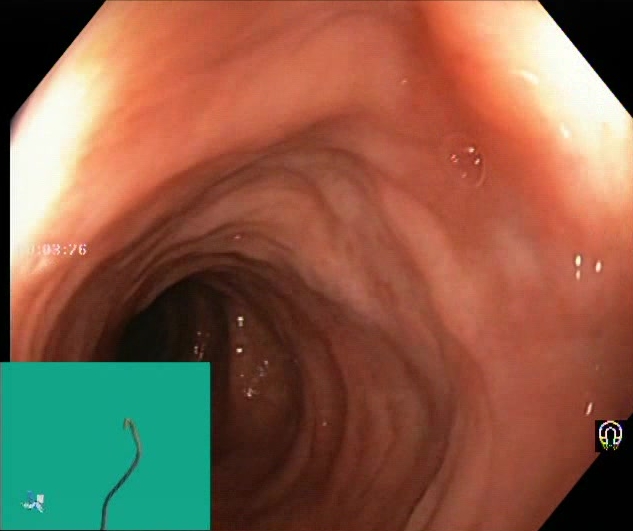BBPS score 2–3 (adequate preparation).